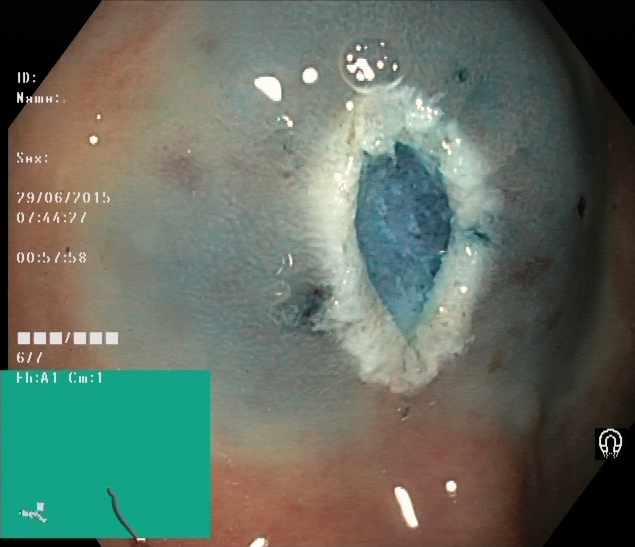This endoscopic image of the lower GI tract shows dyed resection margins (post-polypectomy).